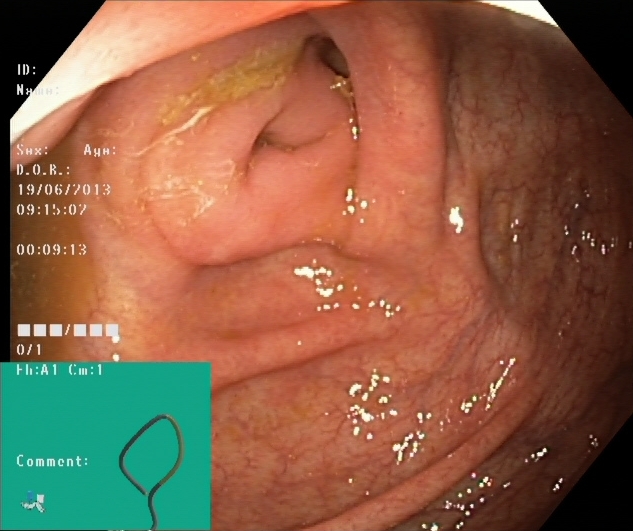modality: lower-GI endoscopy; tract: lower GI tract; category: anatomical landmark; finding: cecum